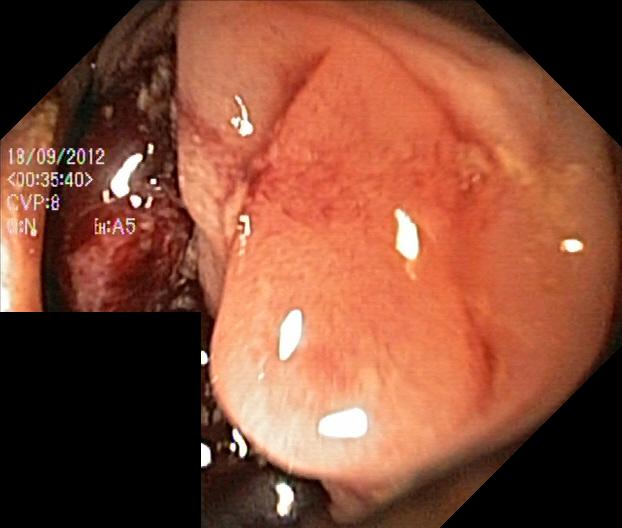Colorectal polyp(s).